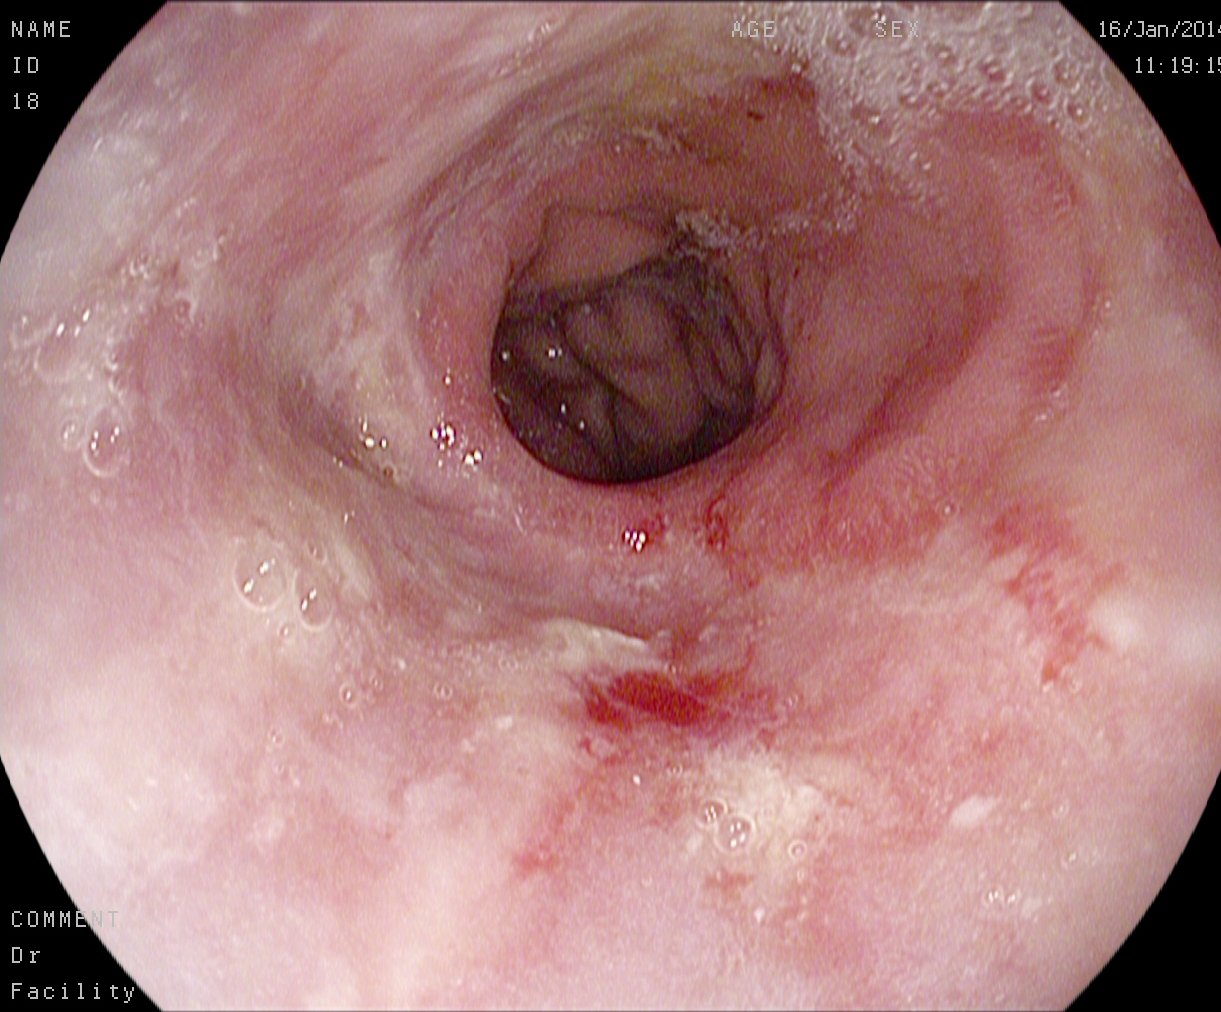This endoscopy frame of the upper GI tract shows reflux esophagitis, LA grade B–D.